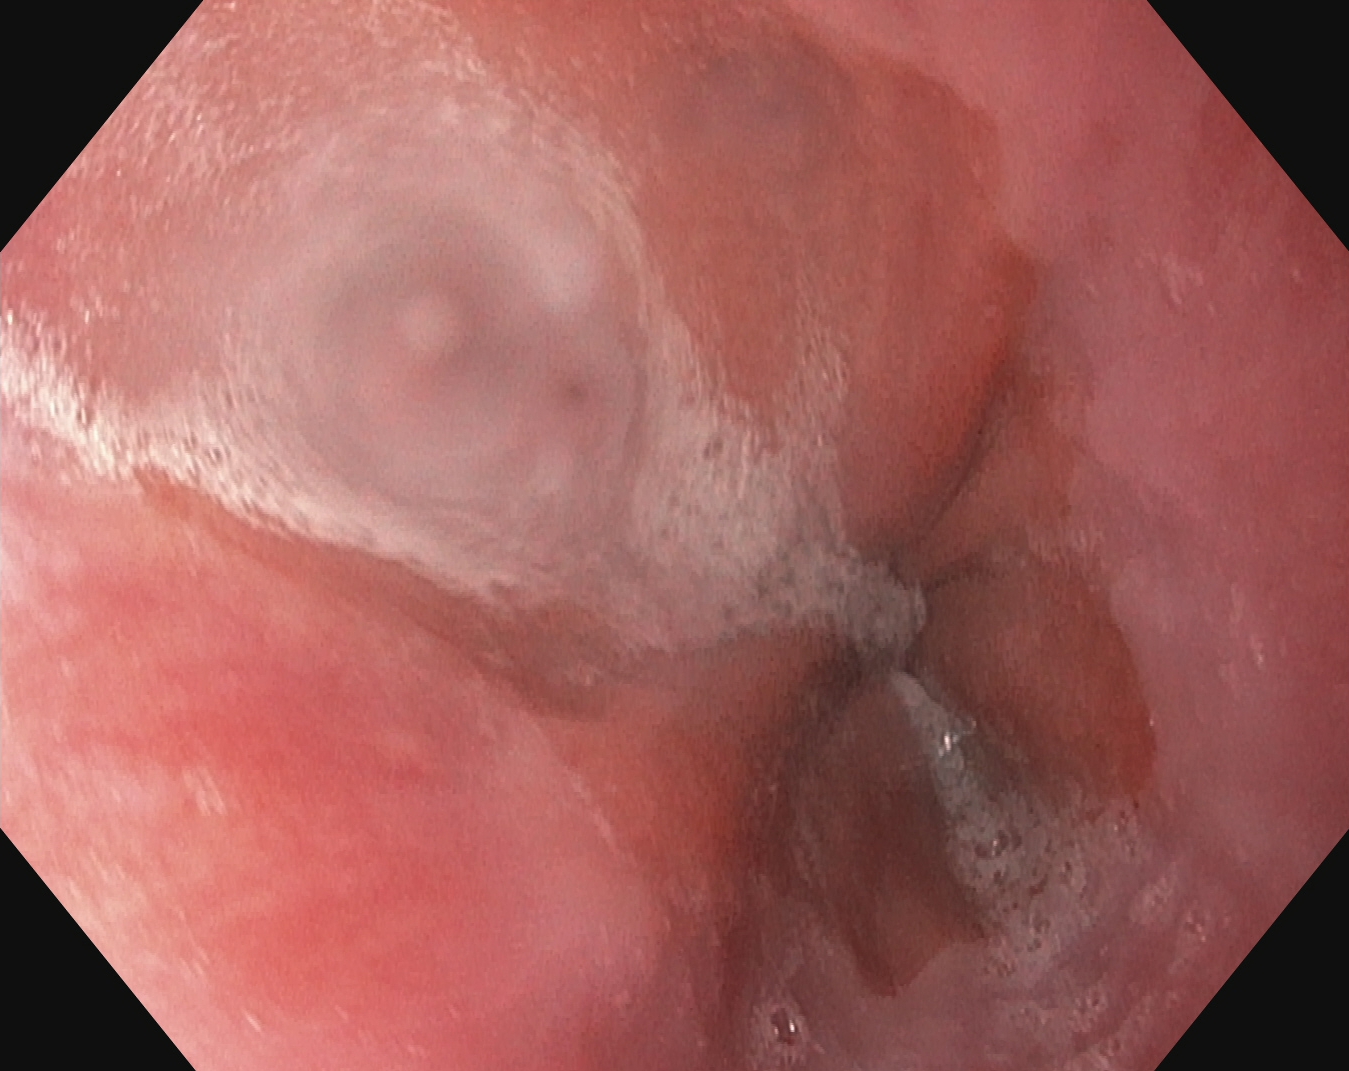Esophagogastroduodenoscopy. Tract: upper GI tract. Finding: Z-line (gastroesophageal junction).